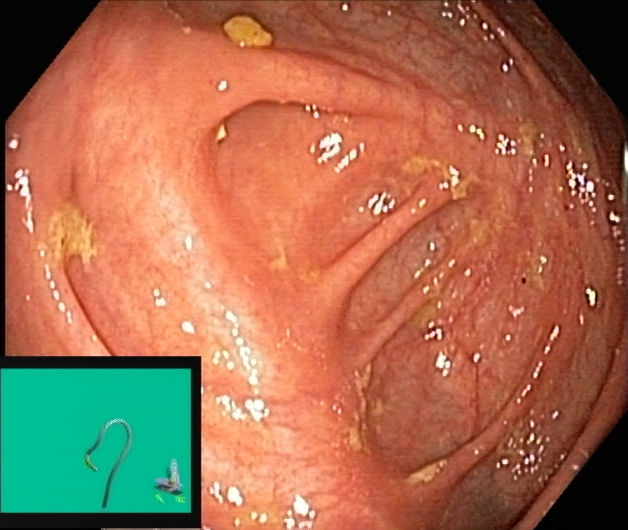This endoscopy frame of the lower GI tract shows cecum.